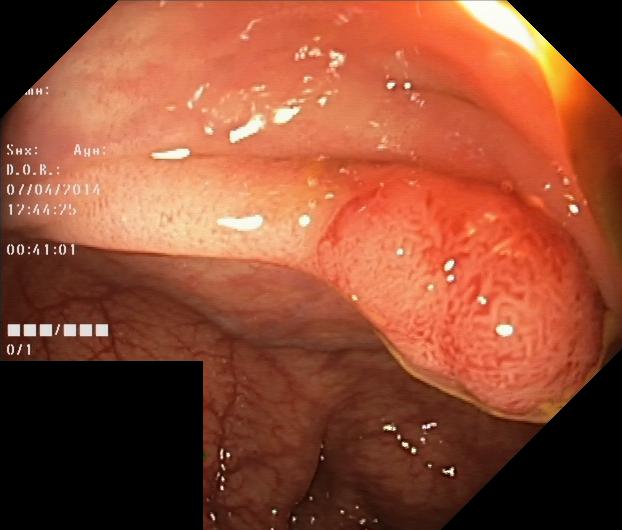modality: lower gastrointestinal endoscopy; tract: lower GI tract; finding: colorectal polyp(s)